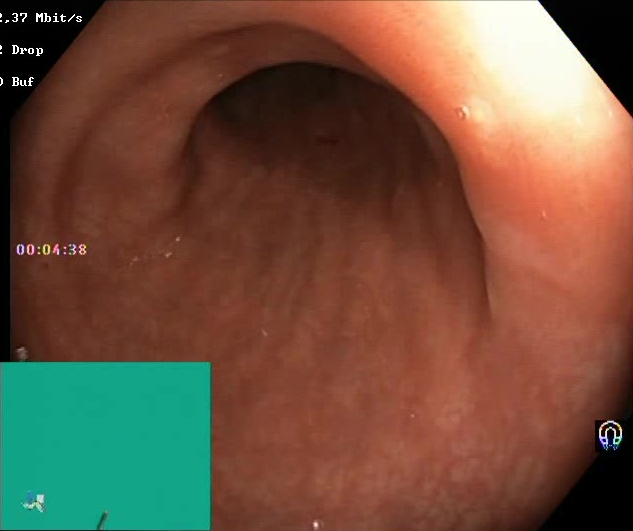This endoscopic image of the lower GI tract shows Boston Bowel Preparation Scale score 2–3 (adequate preparation).